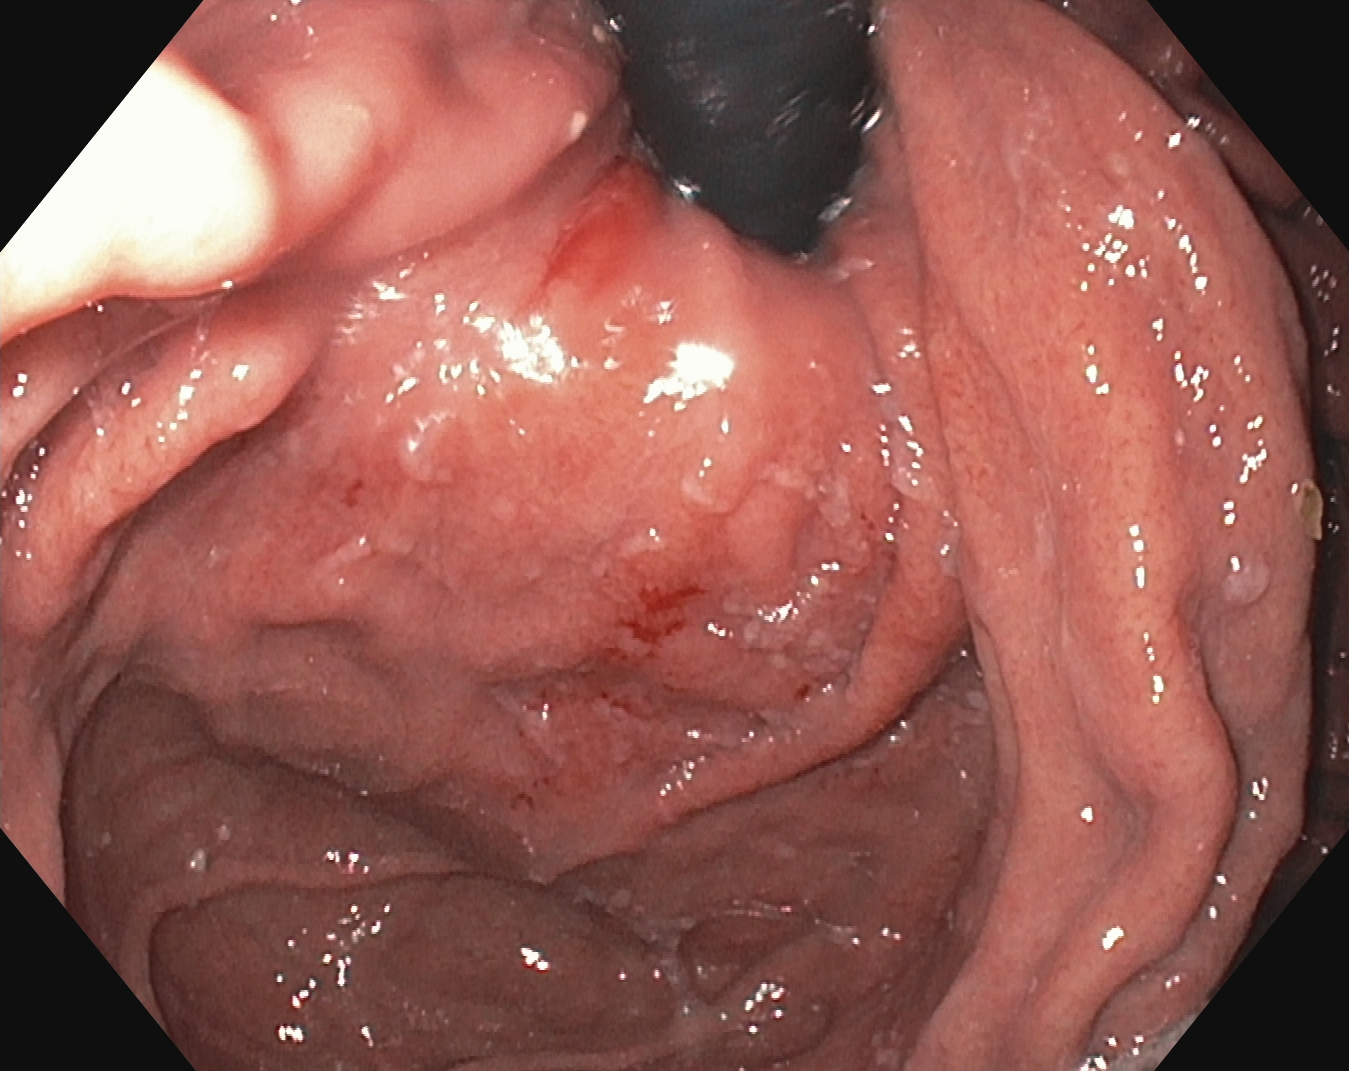PROCEDURE: Upper-GI endoscopy.
FINDINGS: Stomach in retroflexion.